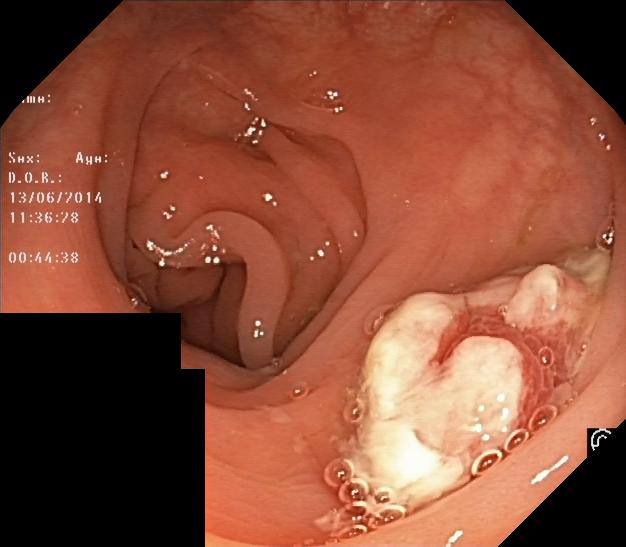colorectal polyp(s).